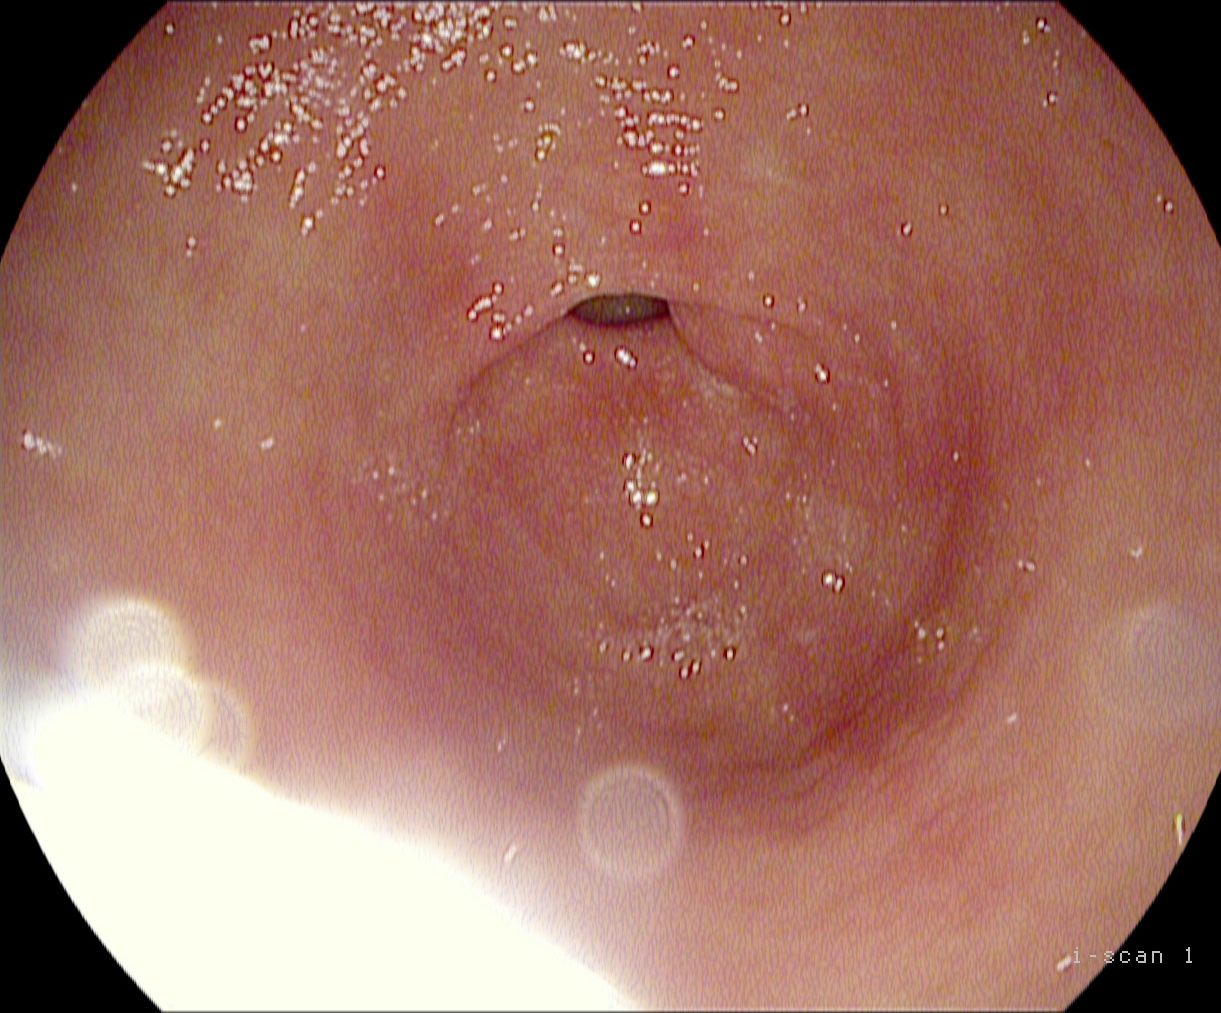This endoscopic image of the upper GI tract shows pylorus.